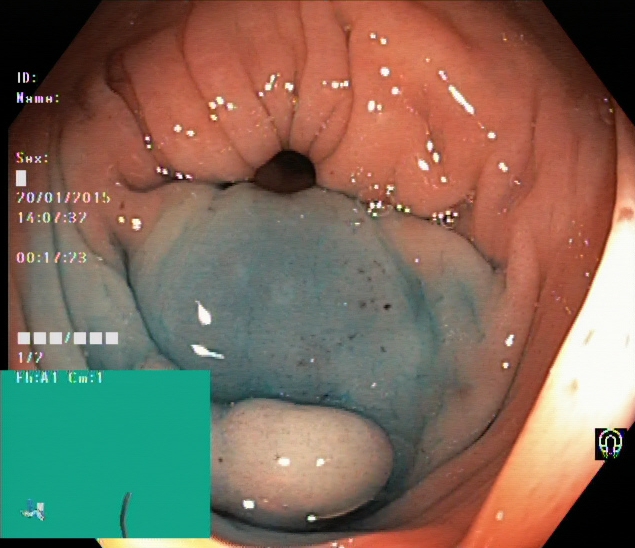This endoscopic image of the lower GI tract shows dyed and lifted polyp (pre-resection).